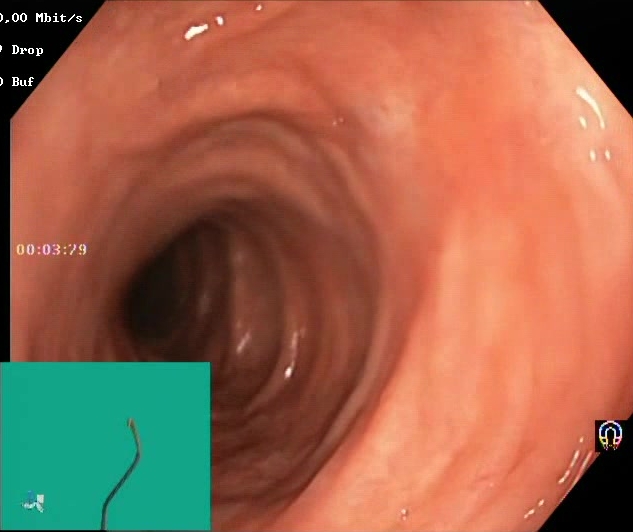This endoscopy frame shows Boston Bowel Preparation Scale score 2–3 (adequate preparation).